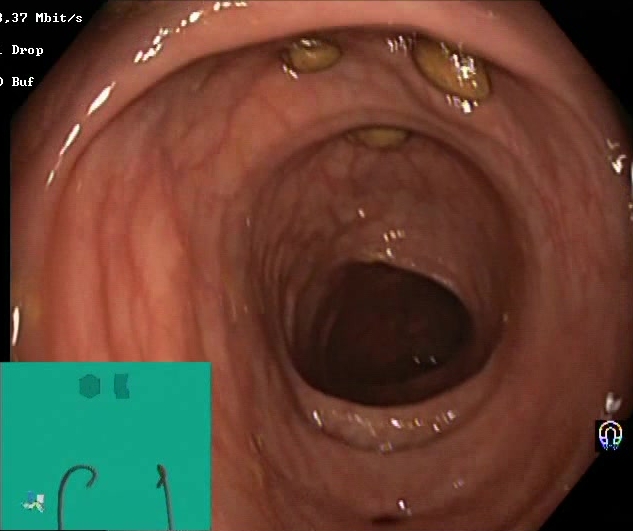{"modality": "colonoscopy", "category": "mucosal-view quality", "finding": "impacted stool"}